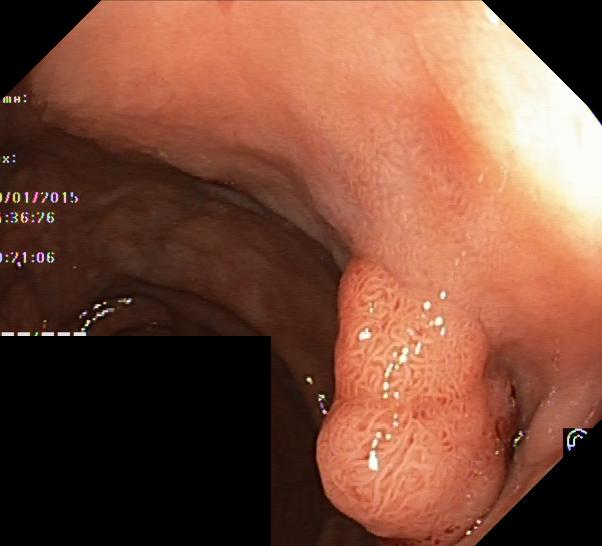PROCEDURE: Lower-GI endoscopy.
FINDINGS: Colorectal polyp(s).